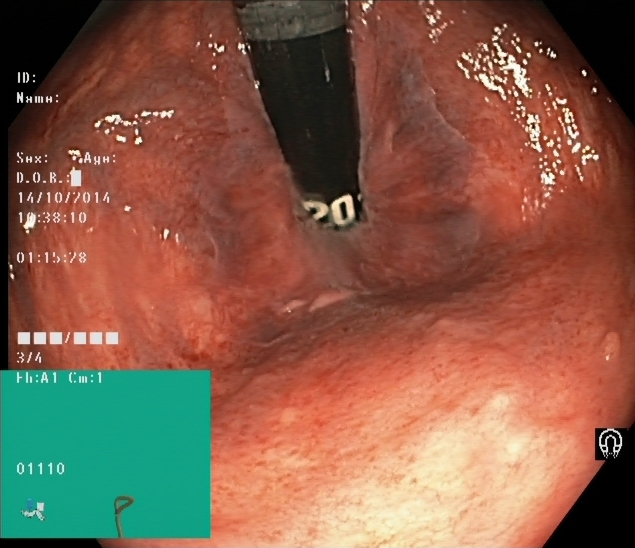modality: lower-GI endoscopy | tract: lower GI tract | finding: rectum in retroflexion